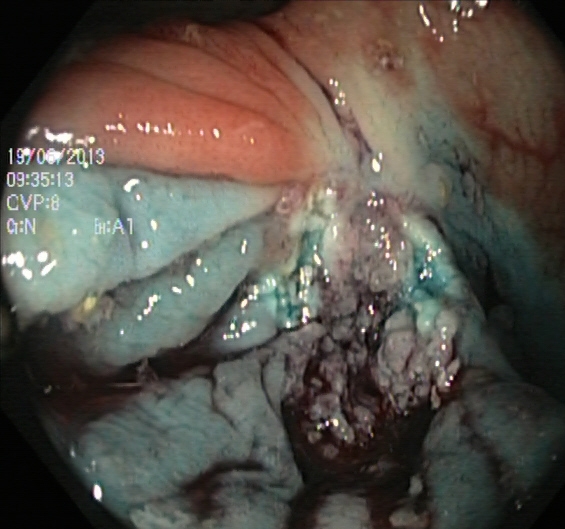This endoscopy frame shows dyed resection margins (post-polypectomy).